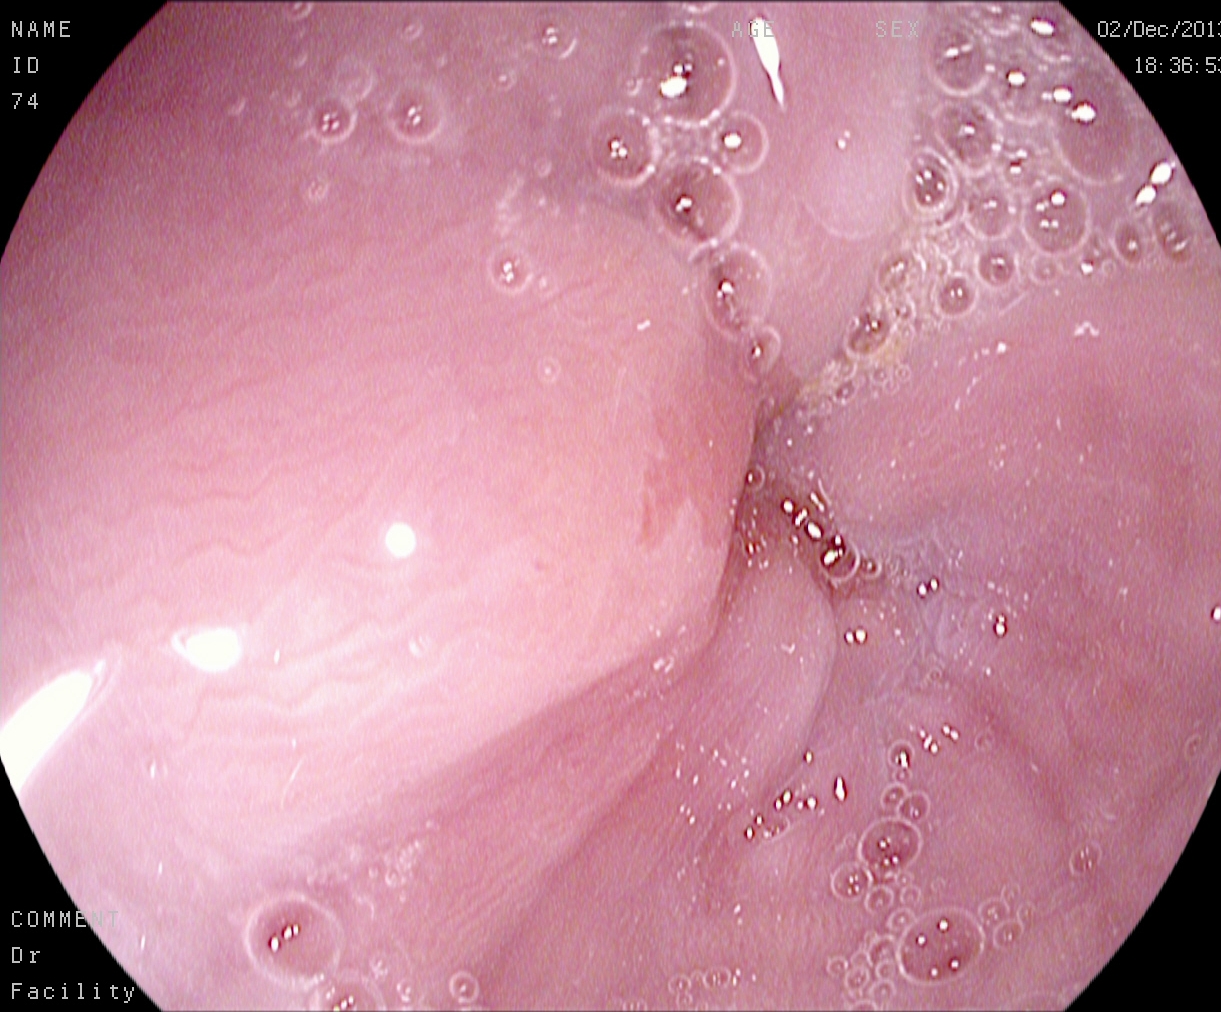{"modality": "esophagogastroduodenoscopy", "finding": "Z-line (gastroesophageal junction)"}